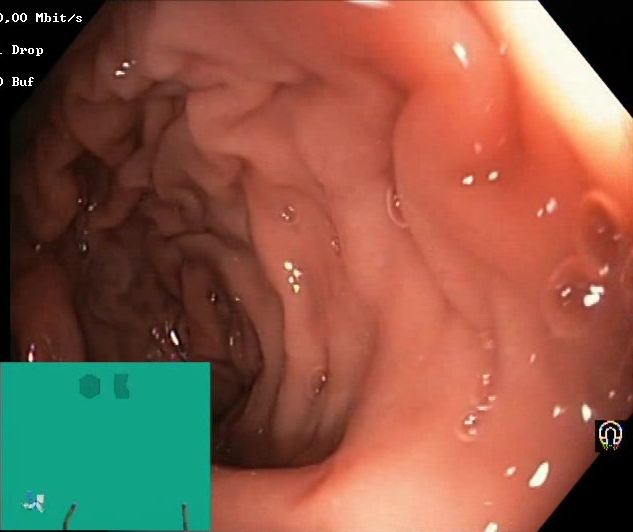modality: lower-GI endoscopy
tract: lower GI tract
category: mucosal-view quality
finding: Boston Bowel Preparation Scale score 2–3 (adequate preparation)